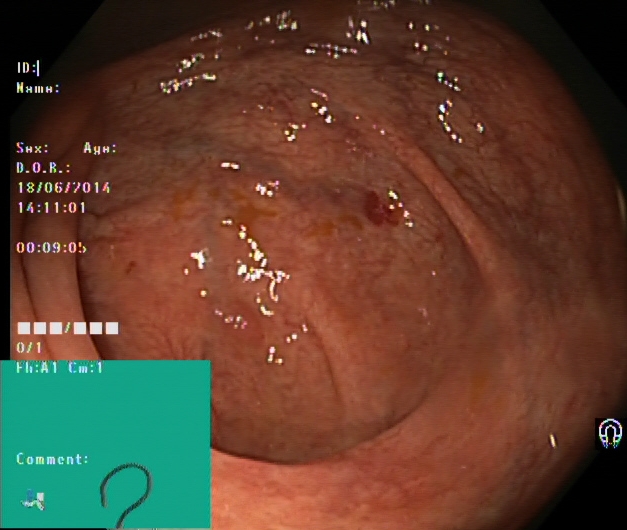{"modality": "colonoscopy", "tract": "lower GI tract", "finding": "cecum"}